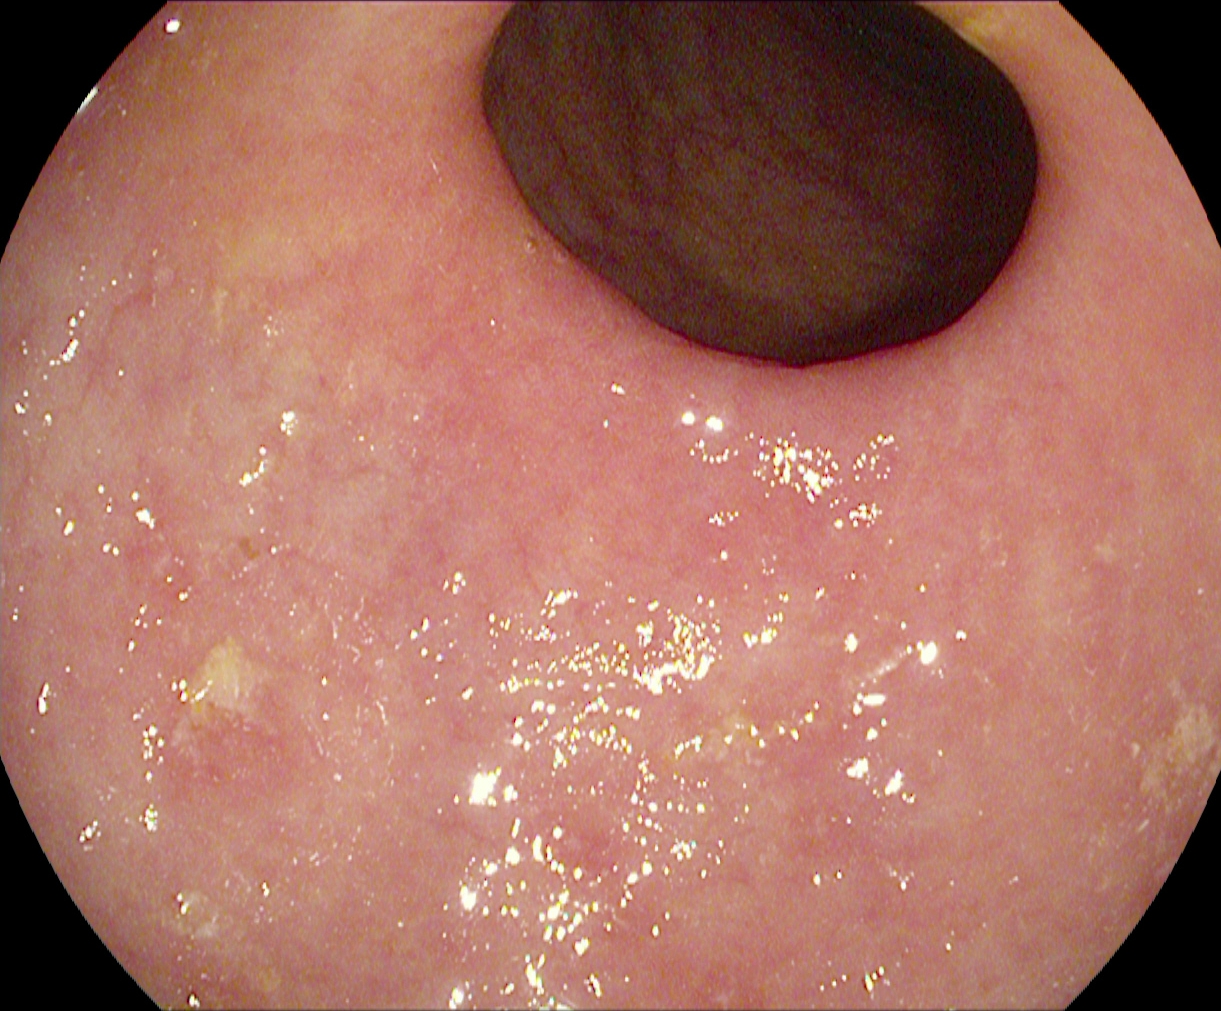{"modality": "esophagogastroduodenoscopy", "finding": "pylorus"}